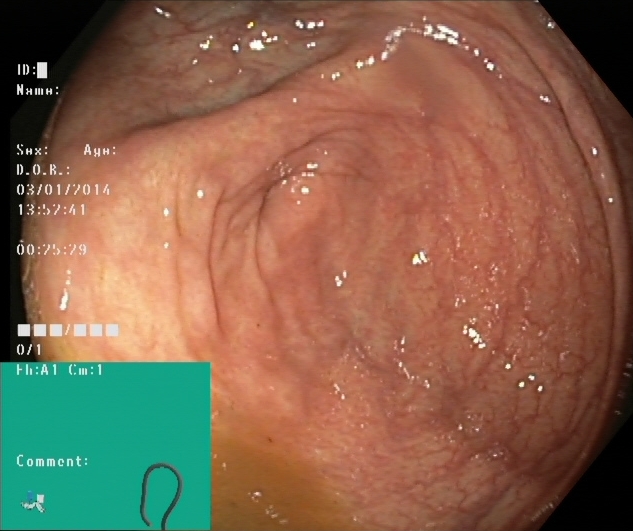Lower gastrointestinal endoscopy — cecum.